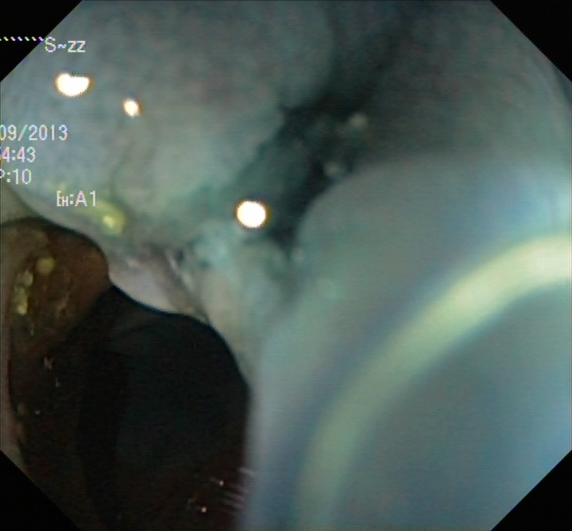PROCEDURE: Colonoscopy.
FINDINGS: Dyed resection margins (post-polypectomy).